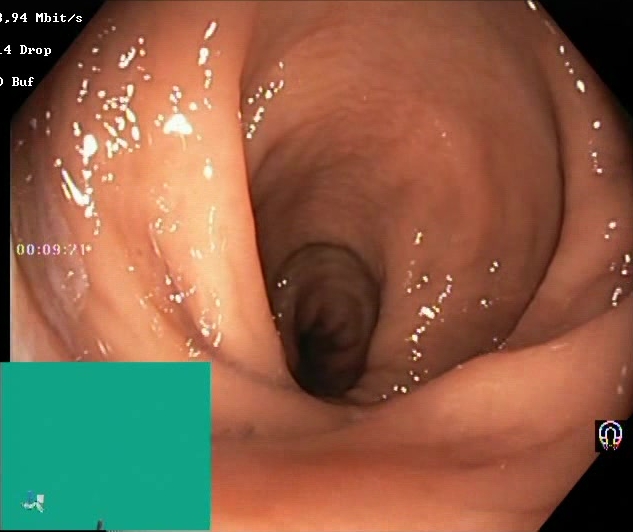This endoscopic image of the lower GI tract shows BBPS score 2–3 (adequate preparation).